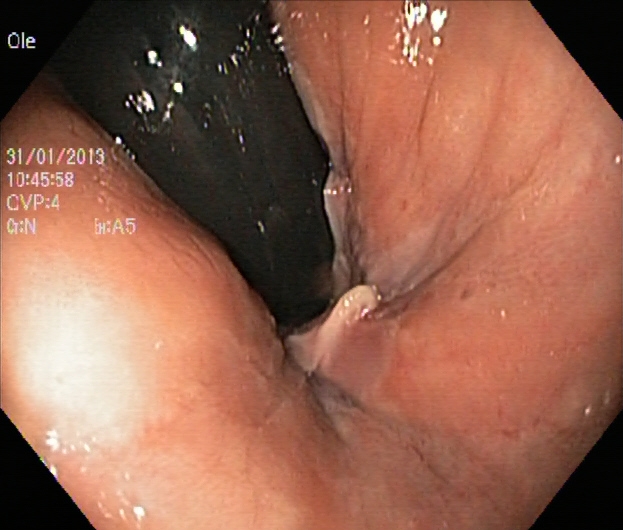This endoscopy frame shows rectum in retroflexion.